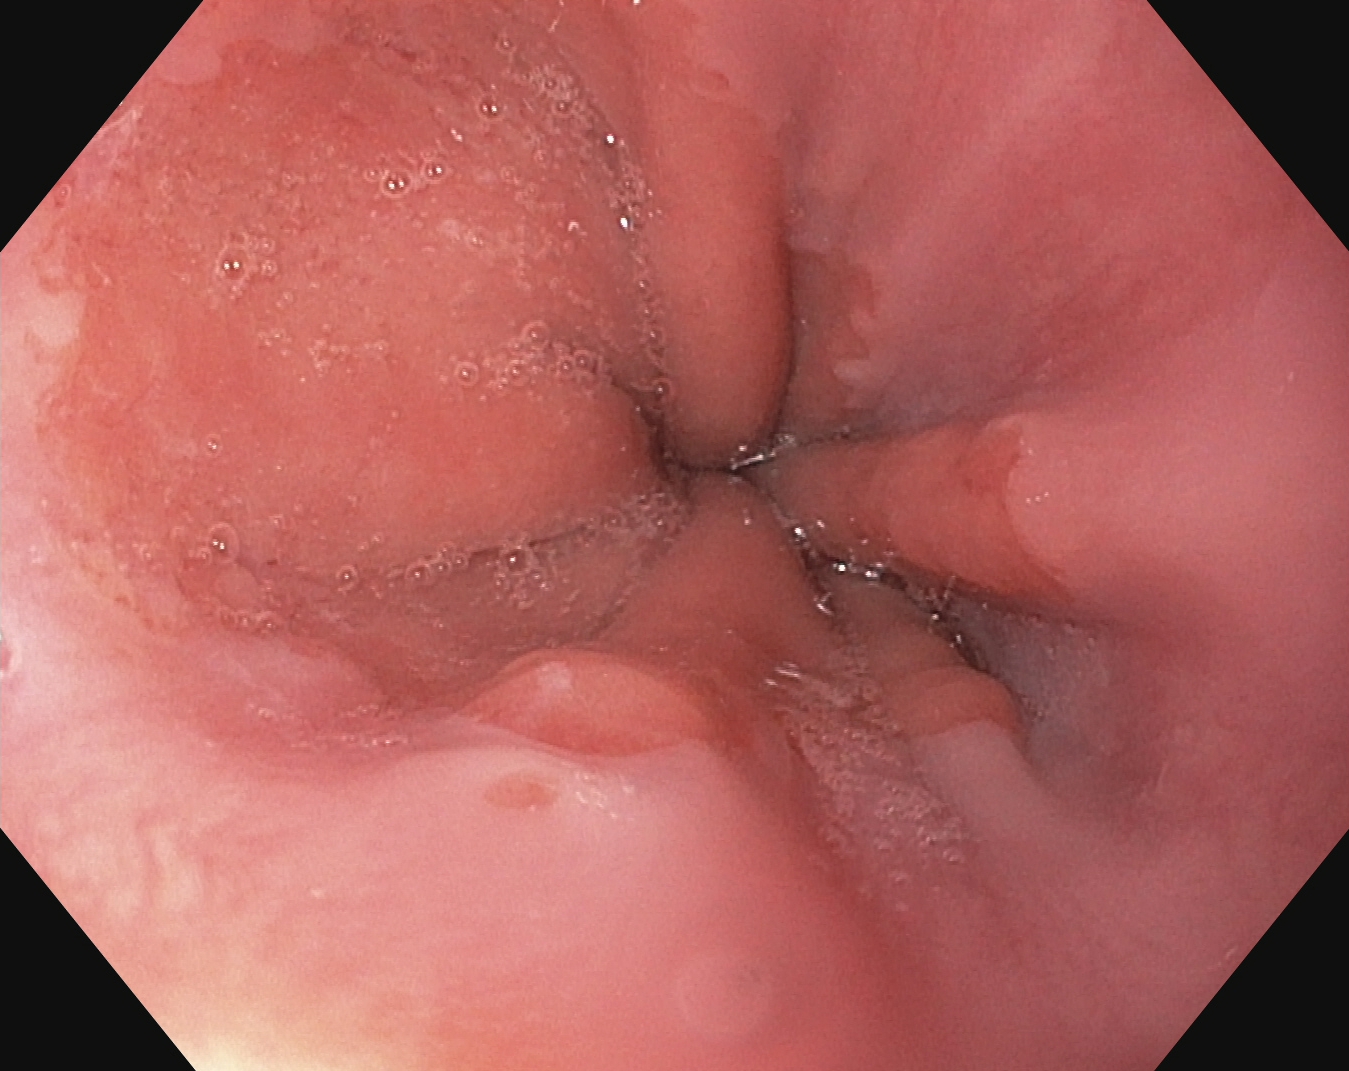{"modality": "esophagogastroduodenoscopy", "tract": "upper GI tract", "finding": "Z-line (gastroesophageal junction)"}